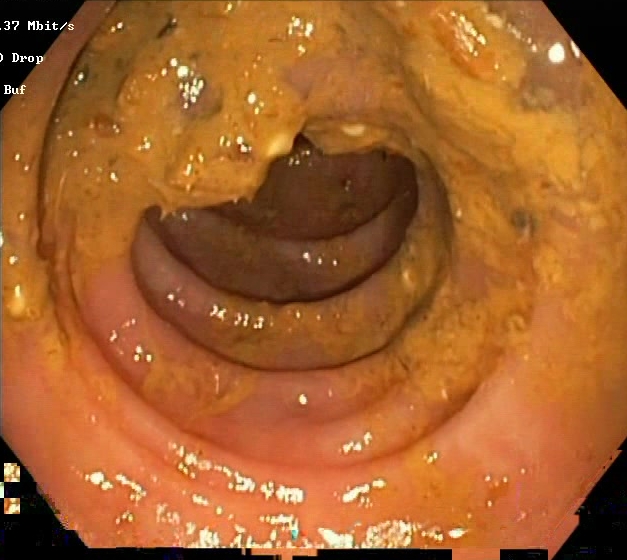{"modality": "colonoscopy", "tract": "lower GI tract", "finding": "Boston Bowel Preparation Scale score 0\u20131 (inadequate preparation)"}